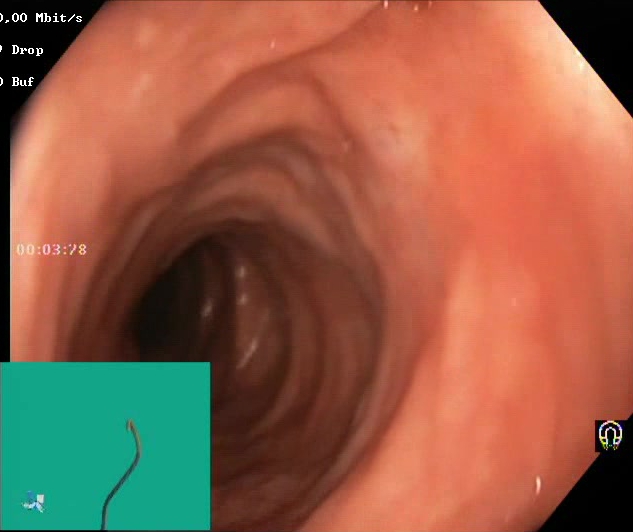Lower gastrointestinal endoscopy — Boston Bowel Preparation Scale score 2–3 (adequate preparation).